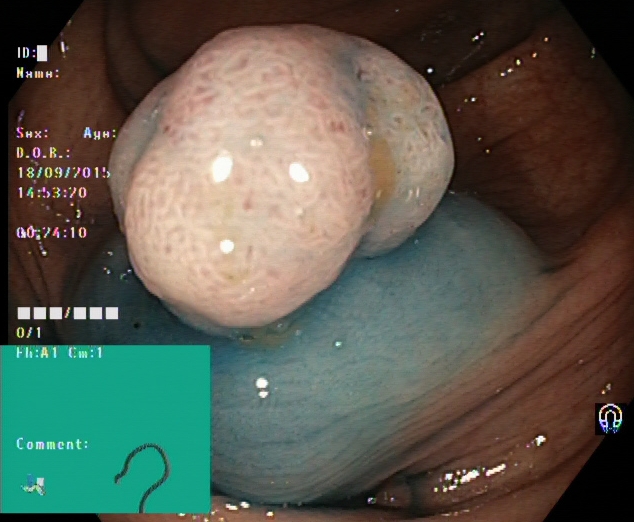{"modality": "lower-GI endoscopy", "finding": "dyed and lifted polyp (pre-resection)"}